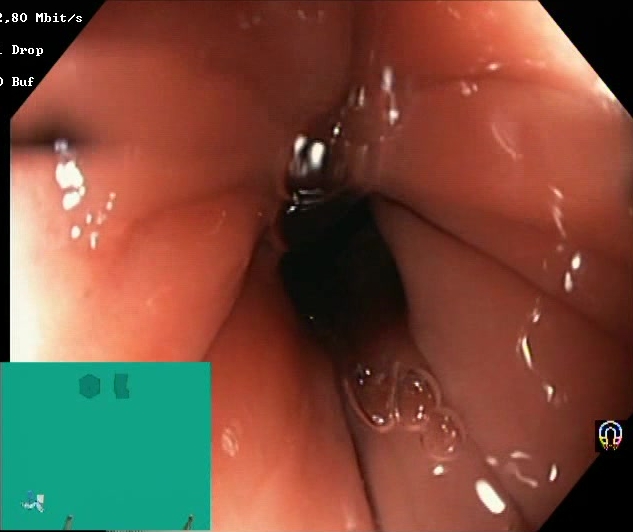BBPS score 2–3 (adequate preparation).